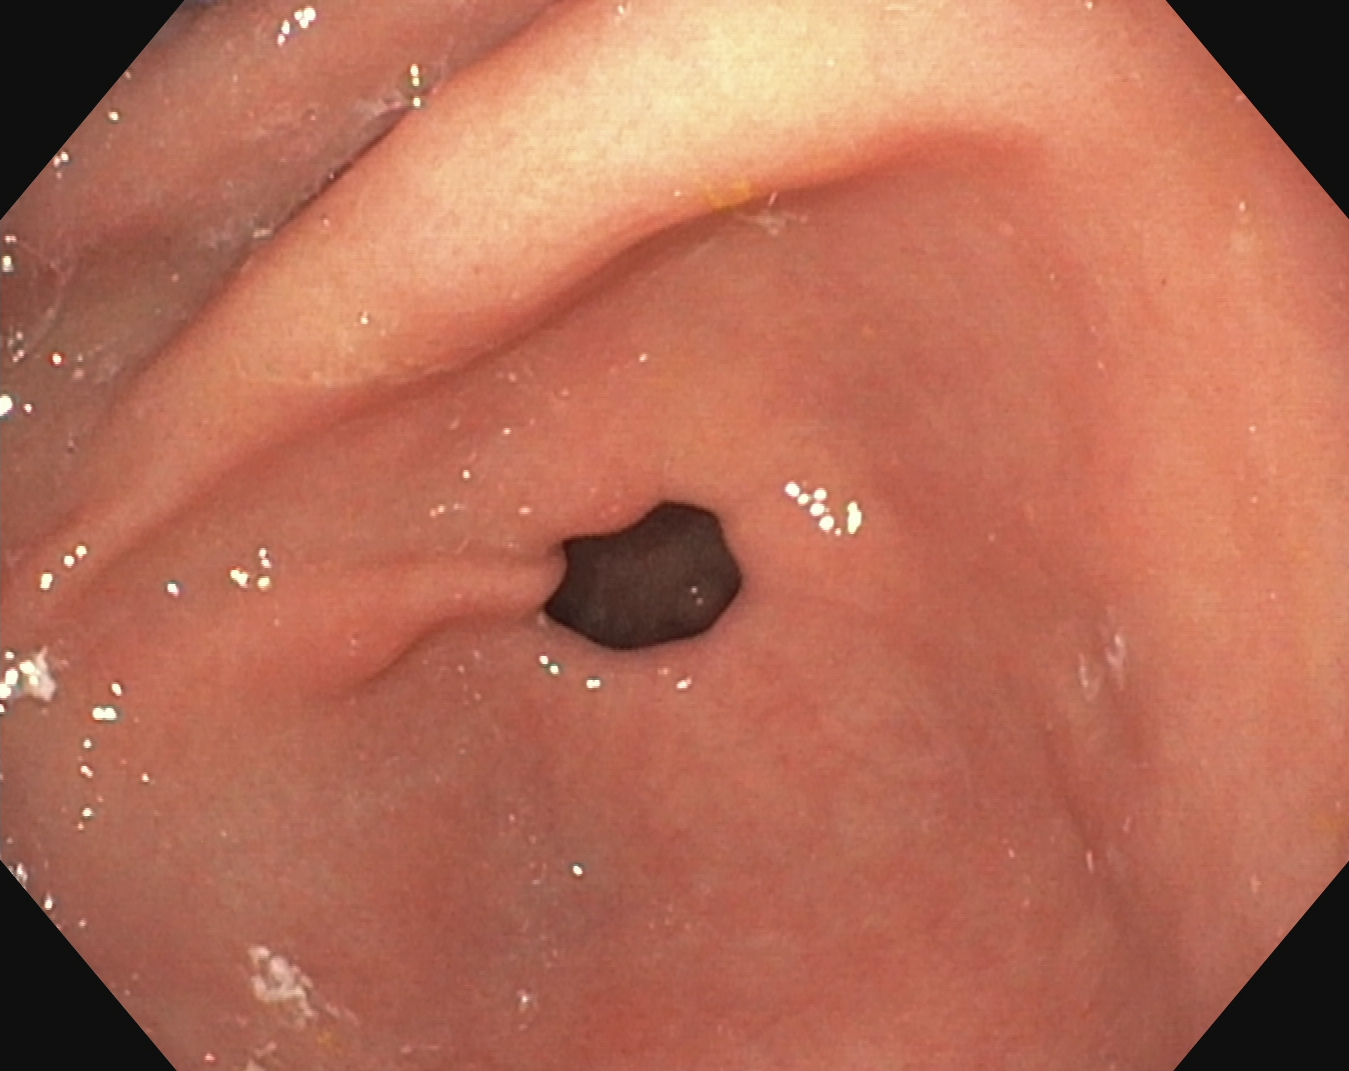Esophagogastroduodenoscopy. Tract: upper GI tract. Finding: pylorus.